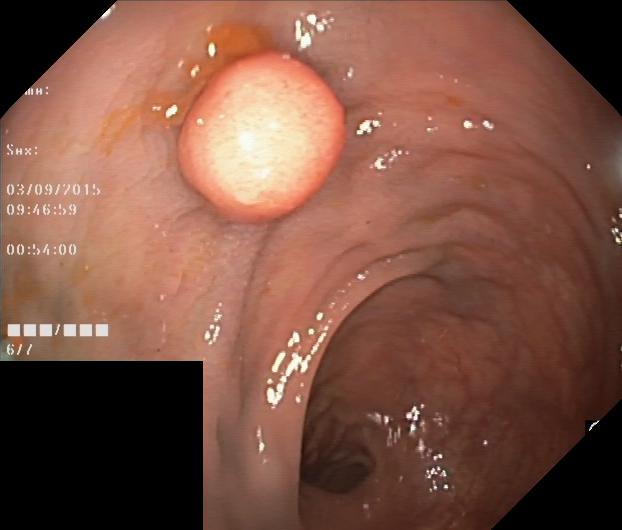{"modality": "colonoscopy", "tract": "lower GI tract", "finding": "colorectal polyp(s)"}